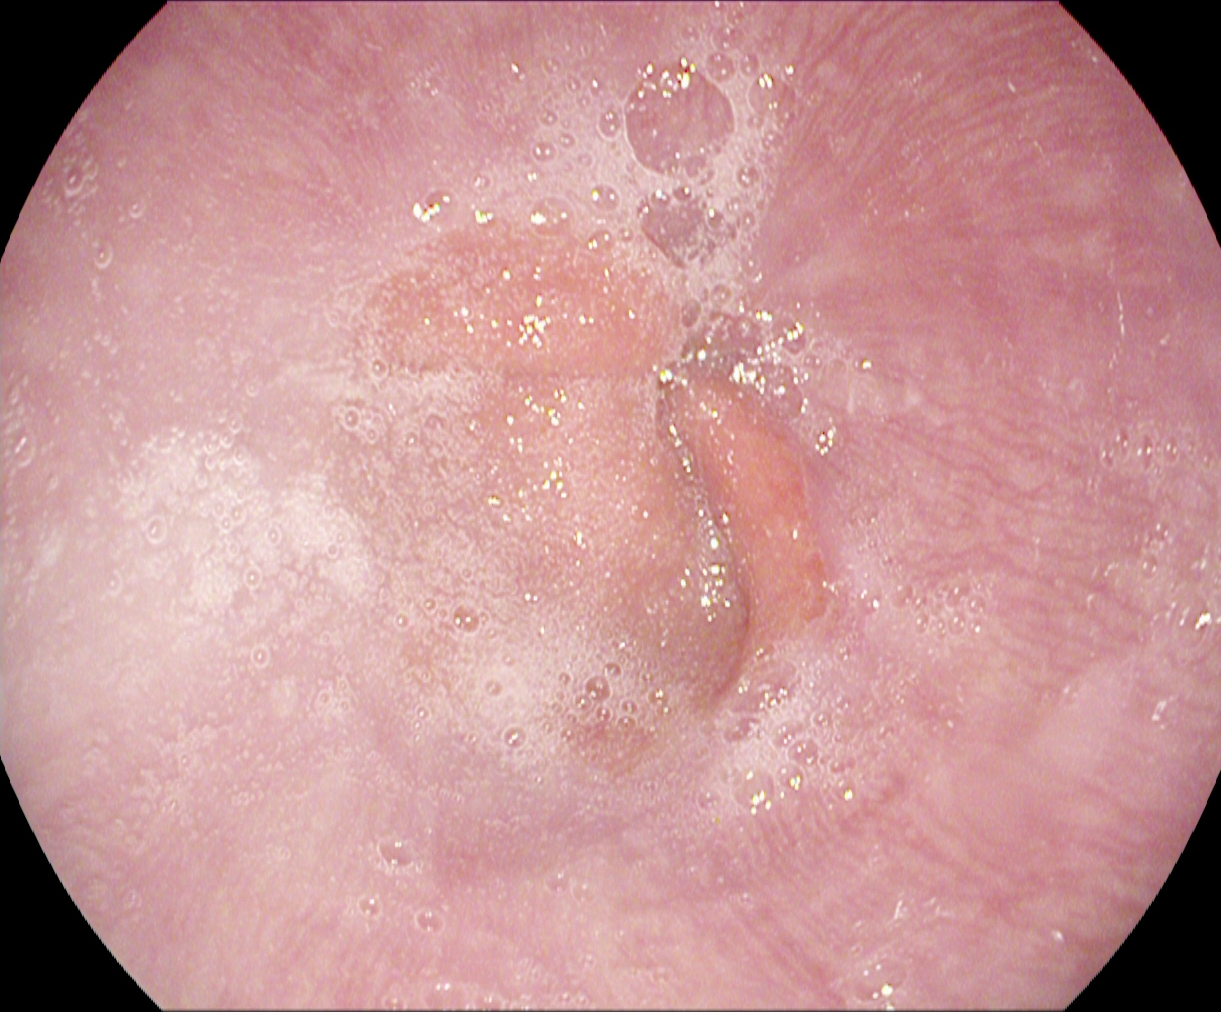{"modality": "esophagogastroduodenoscopy", "tract": "upper GI tract", "finding": "Z-line (gastroesophageal junction)"}